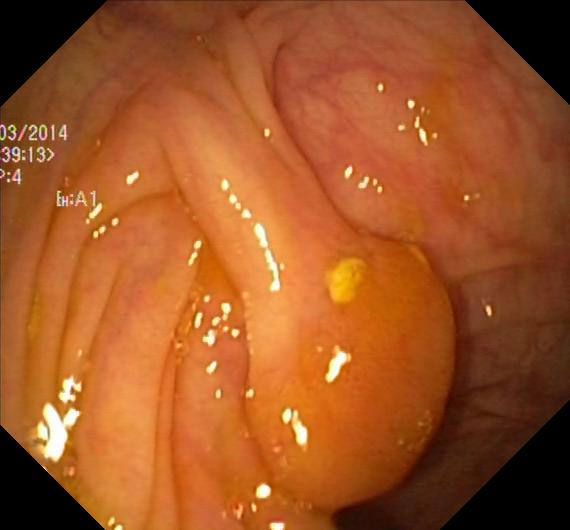{"modality": "lower gastrointestinal endoscopy", "tract": "lower GI tract", "finding": "colorectal polyp(s)"}